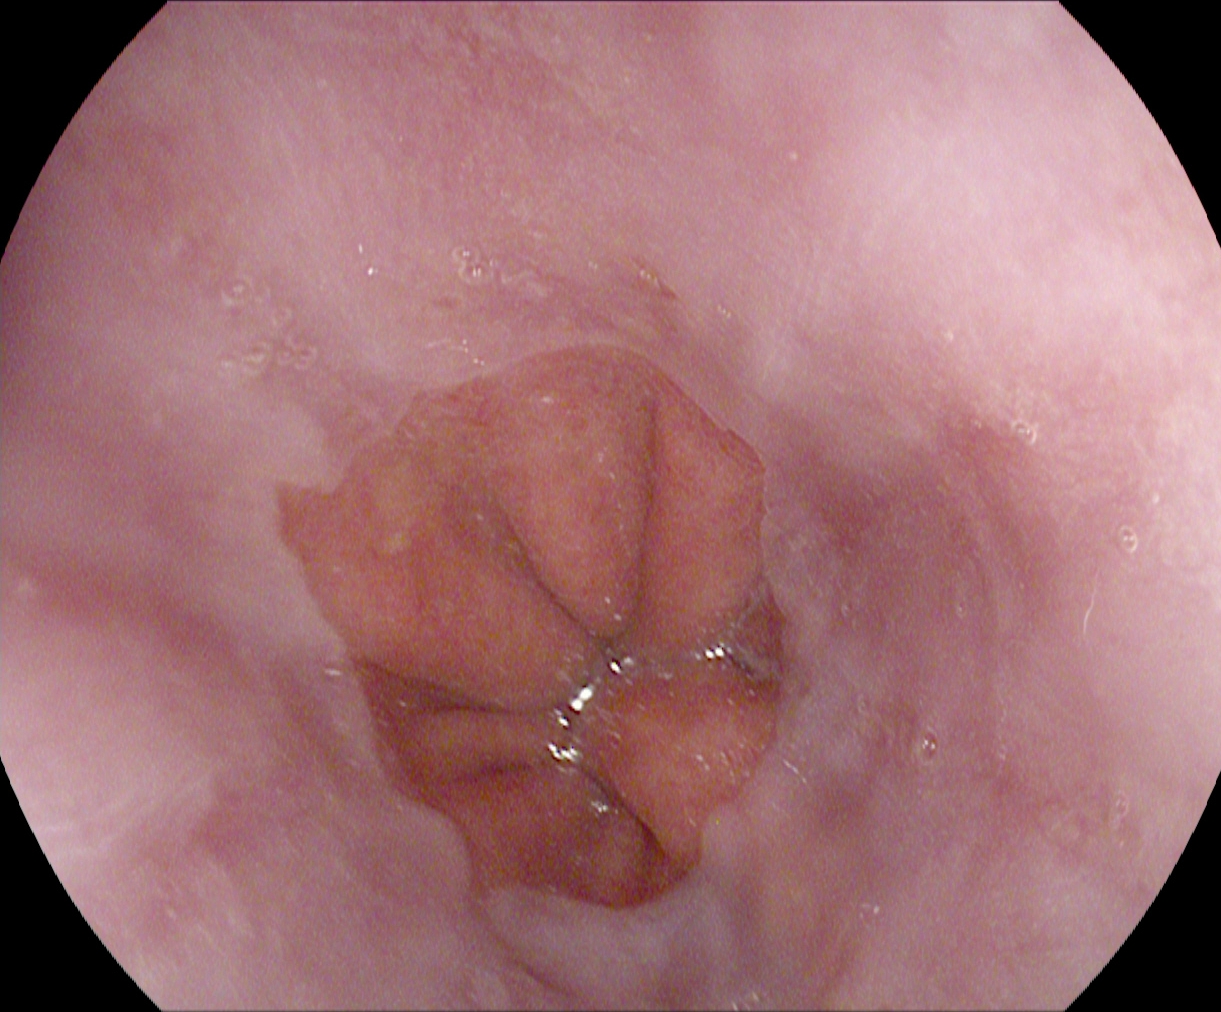Esophagogastroduodenoscopy. Tract: upper GI tract. Anatomical landmark. Finding: Z-line (gastroesophageal junction).